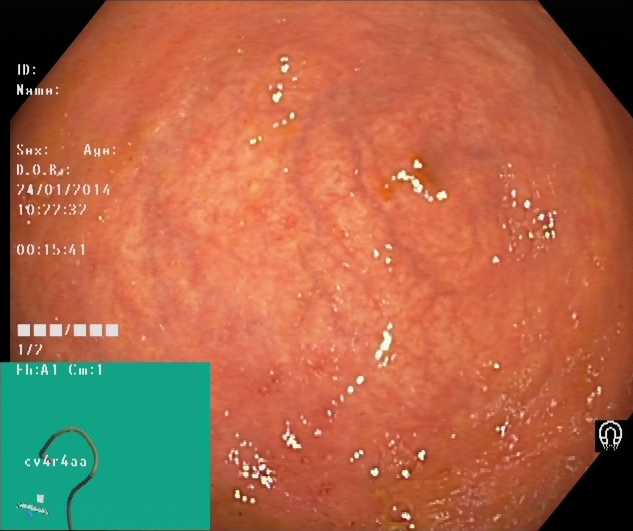Lower gastrointestinal endoscopy. Tract: lower GI tract. Finding: cecum.